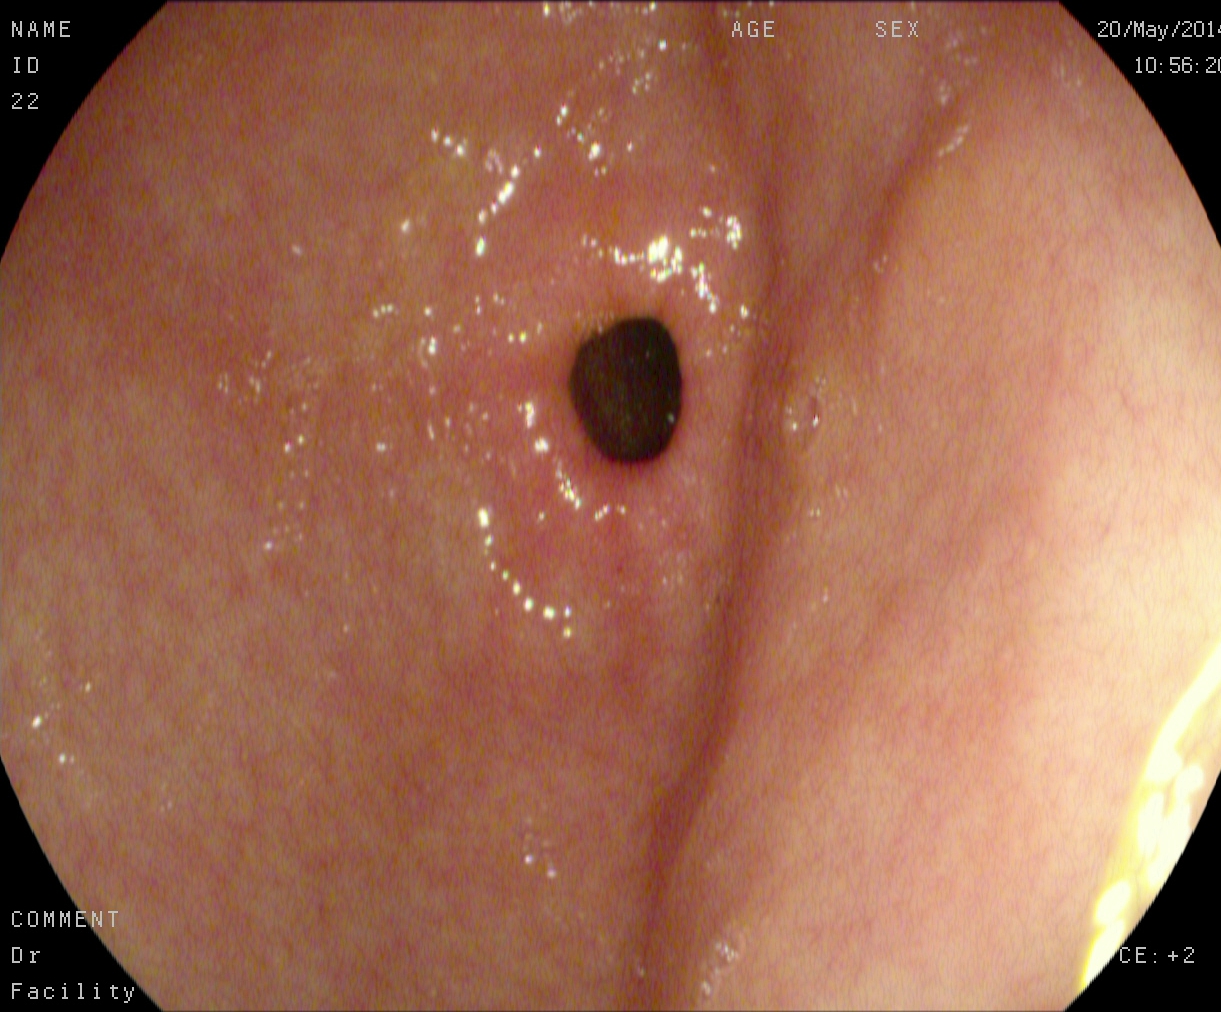{"modality": "upper-GI endoscopy", "category": "anatomical landmark", "finding": "pylorus"}